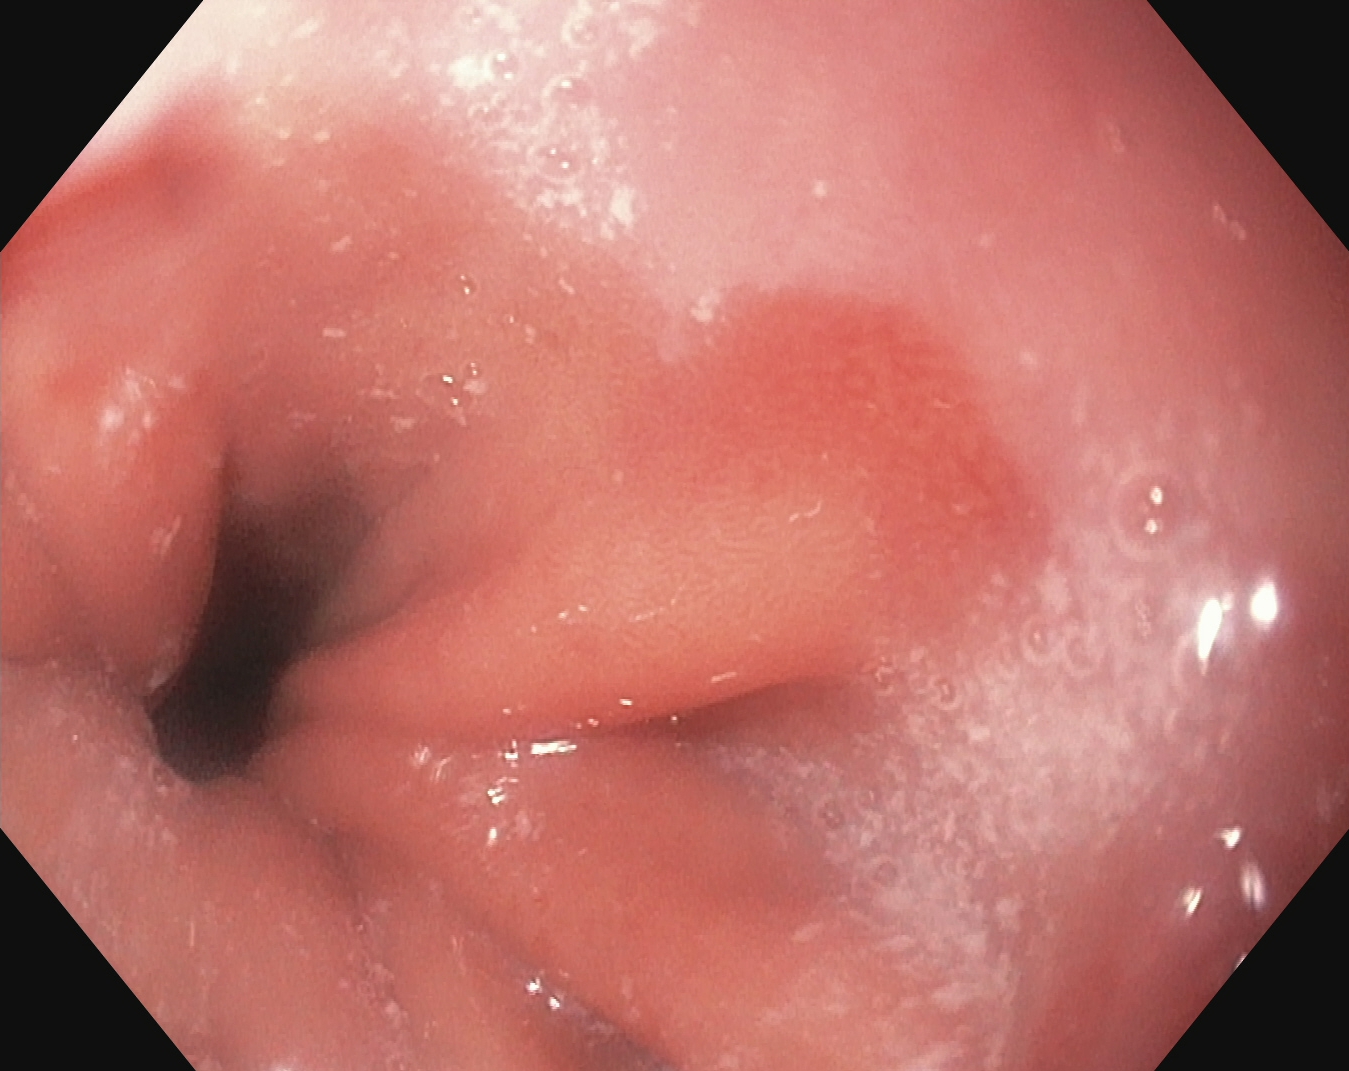Z-line (gastroesophageal junction).